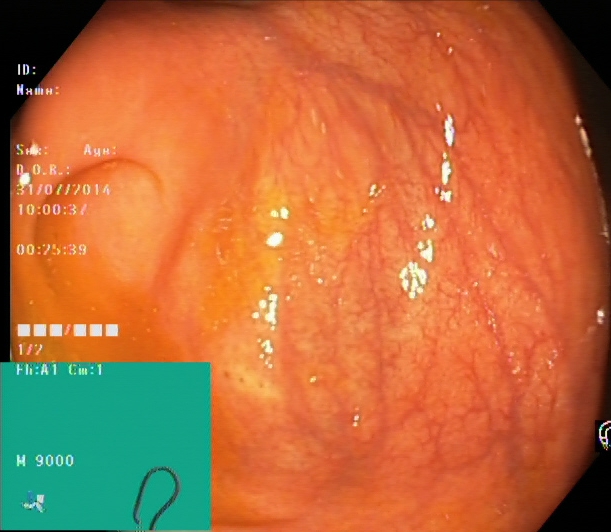{"modality": "lower-GI endoscopy", "tract": "lower GI tract", "finding": "cecum"}